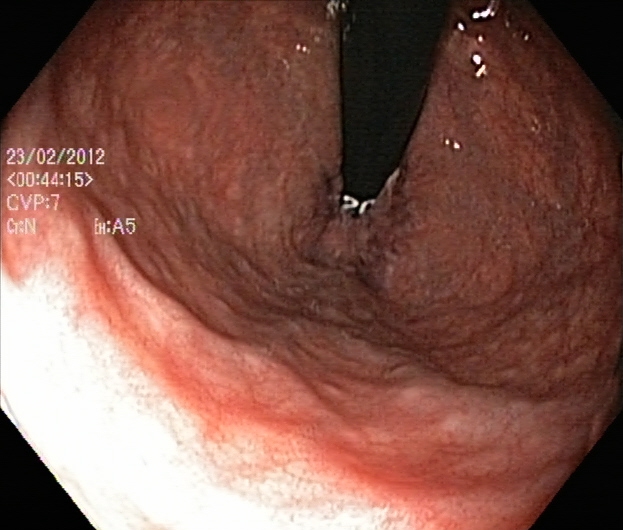PROCEDURE: Lower gastrointestinal endoscopy.
CATEGORY: Anatomical landmark.
FINDINGS: Rectum in retroflexion.